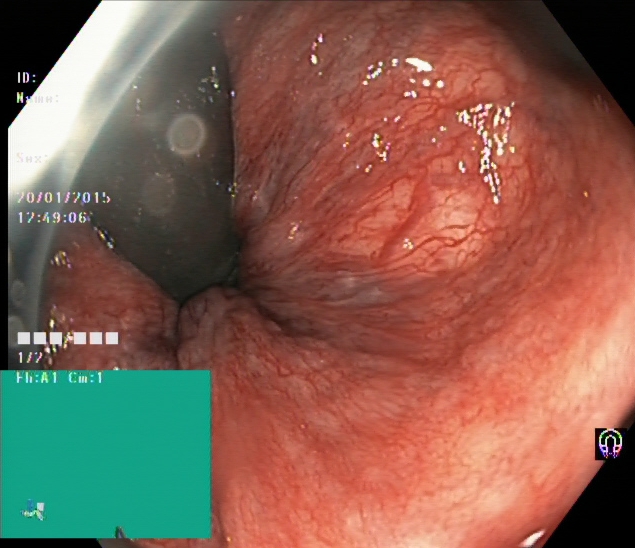modality: lower gastrointestinal endoscopy; tract: lower GI tract; category: anatomical landmark; finding: rectum in retroflexion